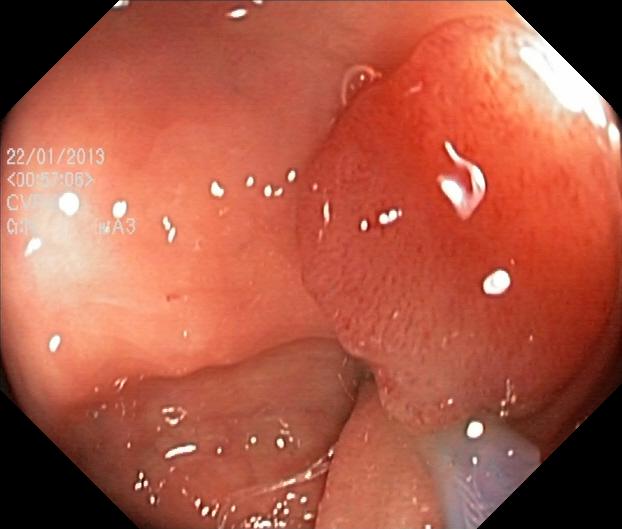Lower-GI endoscopy. Tract: lower GI tract. Pathological finding. Finding: colorectal polyp(s).